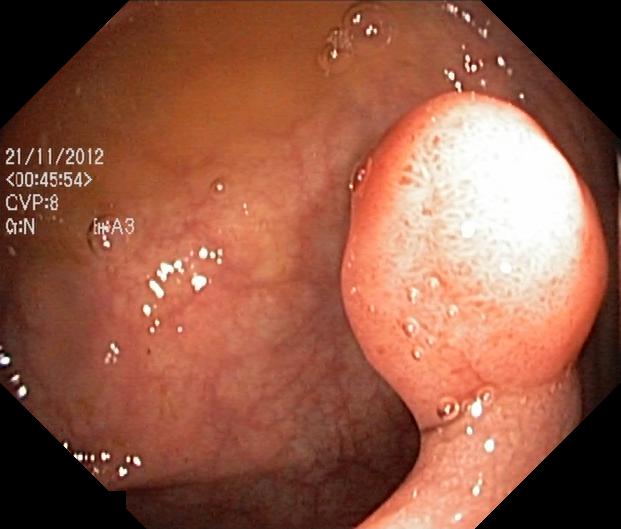This endoscopy frame of the lower GI tract shows colorectal polyp(s).